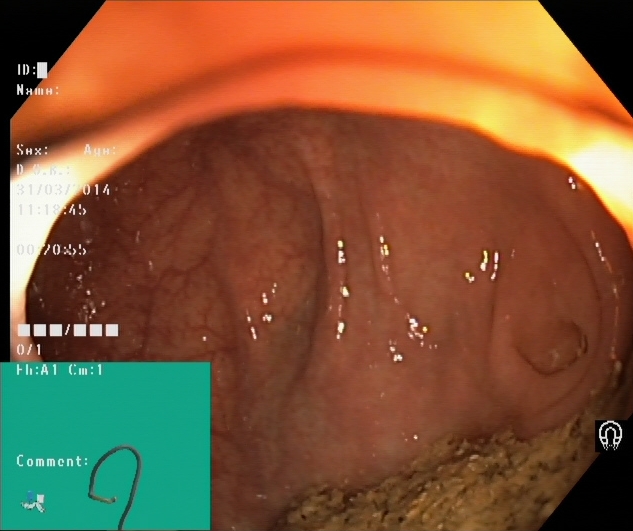PROCEDURE: Colonoscopy.
FINDINGS: Cecum.